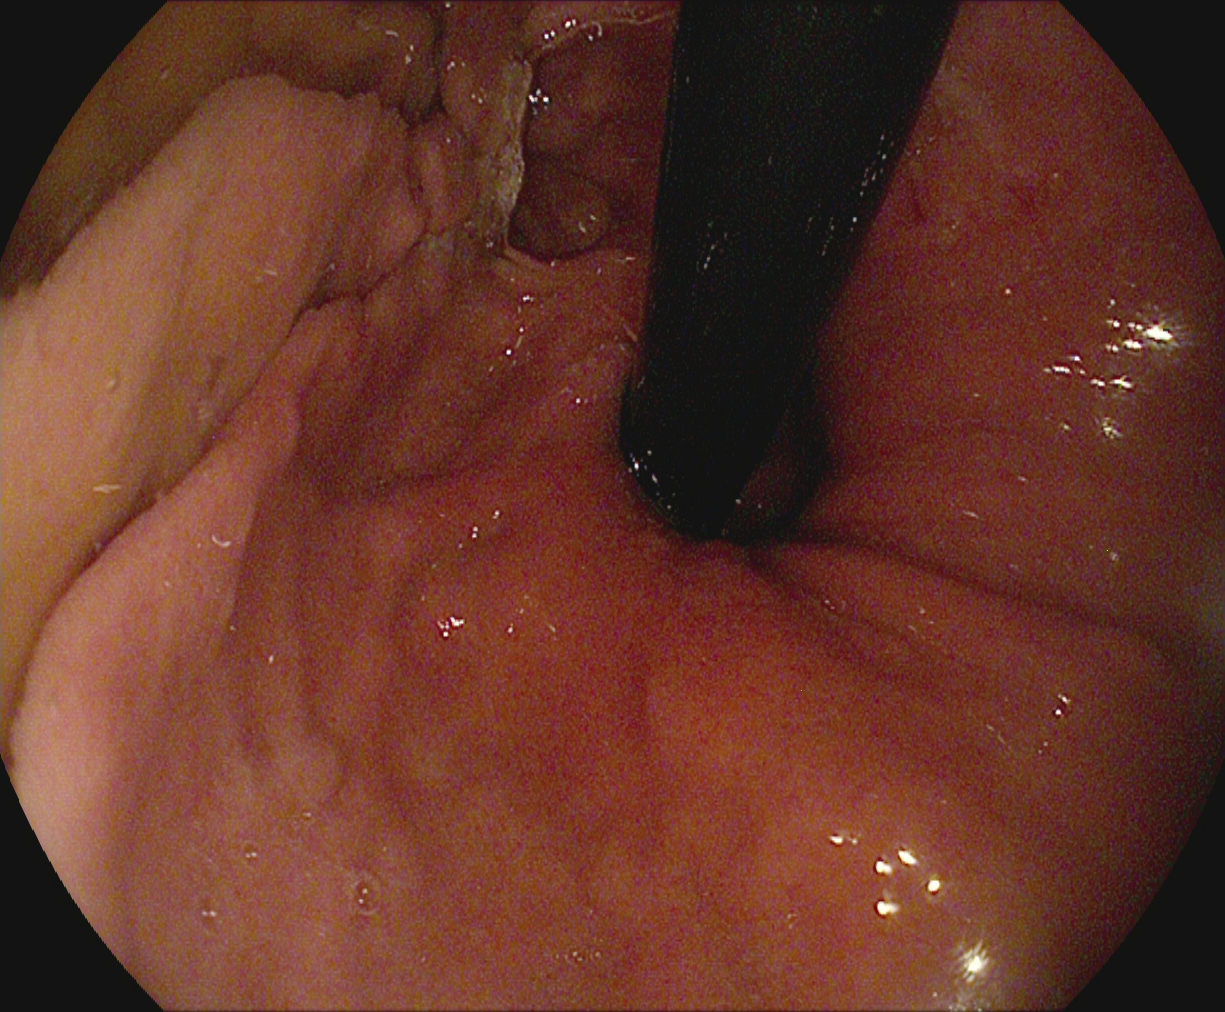Endoscopy image showing stomach in retroflexion.